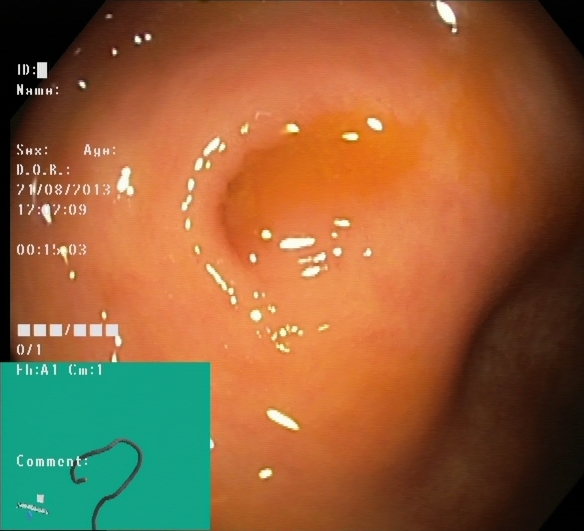{"modality": "lower gastrointestinal endoscopy", "finding": "cecum"}